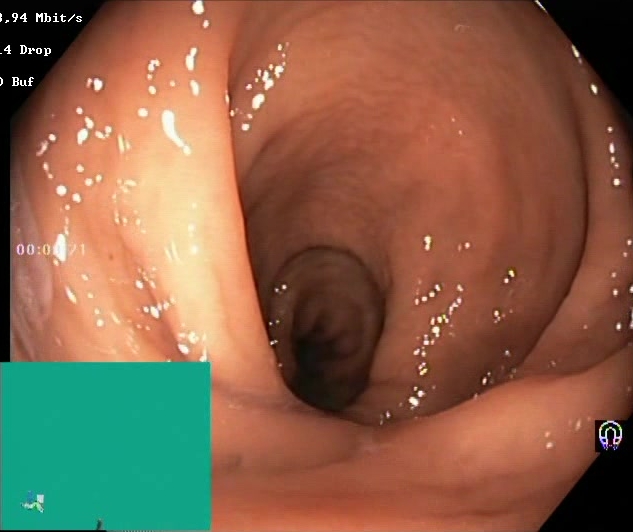Endoscopy image of the lower GI tract showing Boston Bowel Preparation Scale score 2–3 (adequate preparation).